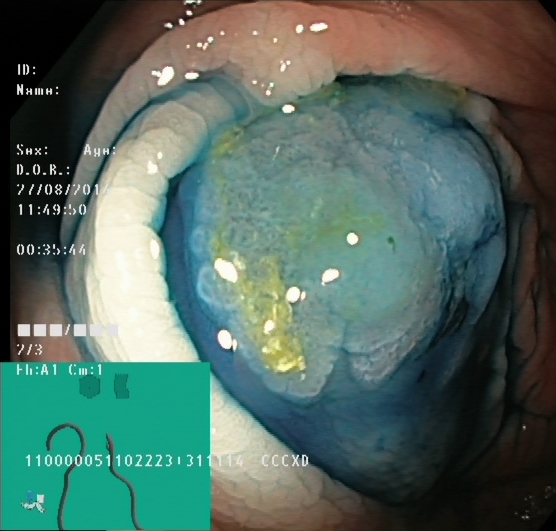PROCEDURE: Colonoscopy.
FINDINGS: Dyed and lifted polyp (pre-resection).